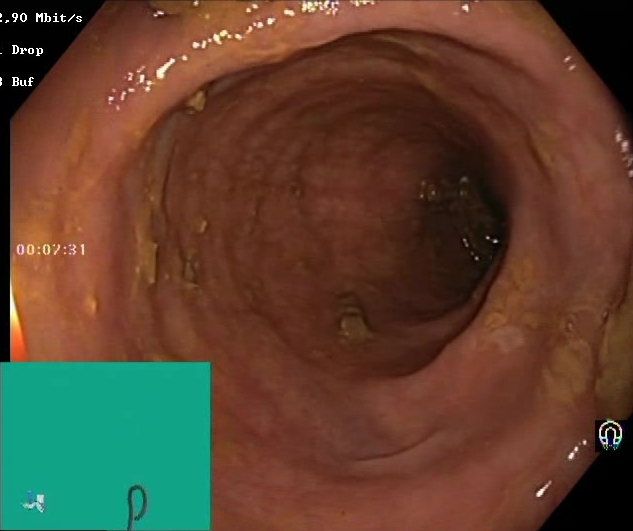{"modality": "lower gastrointestinal endoscopy", "category": "mucosal-view quality", "finding": "Boston Bowel Preparation Scale score 2\u20133 (adequate preparation)"}